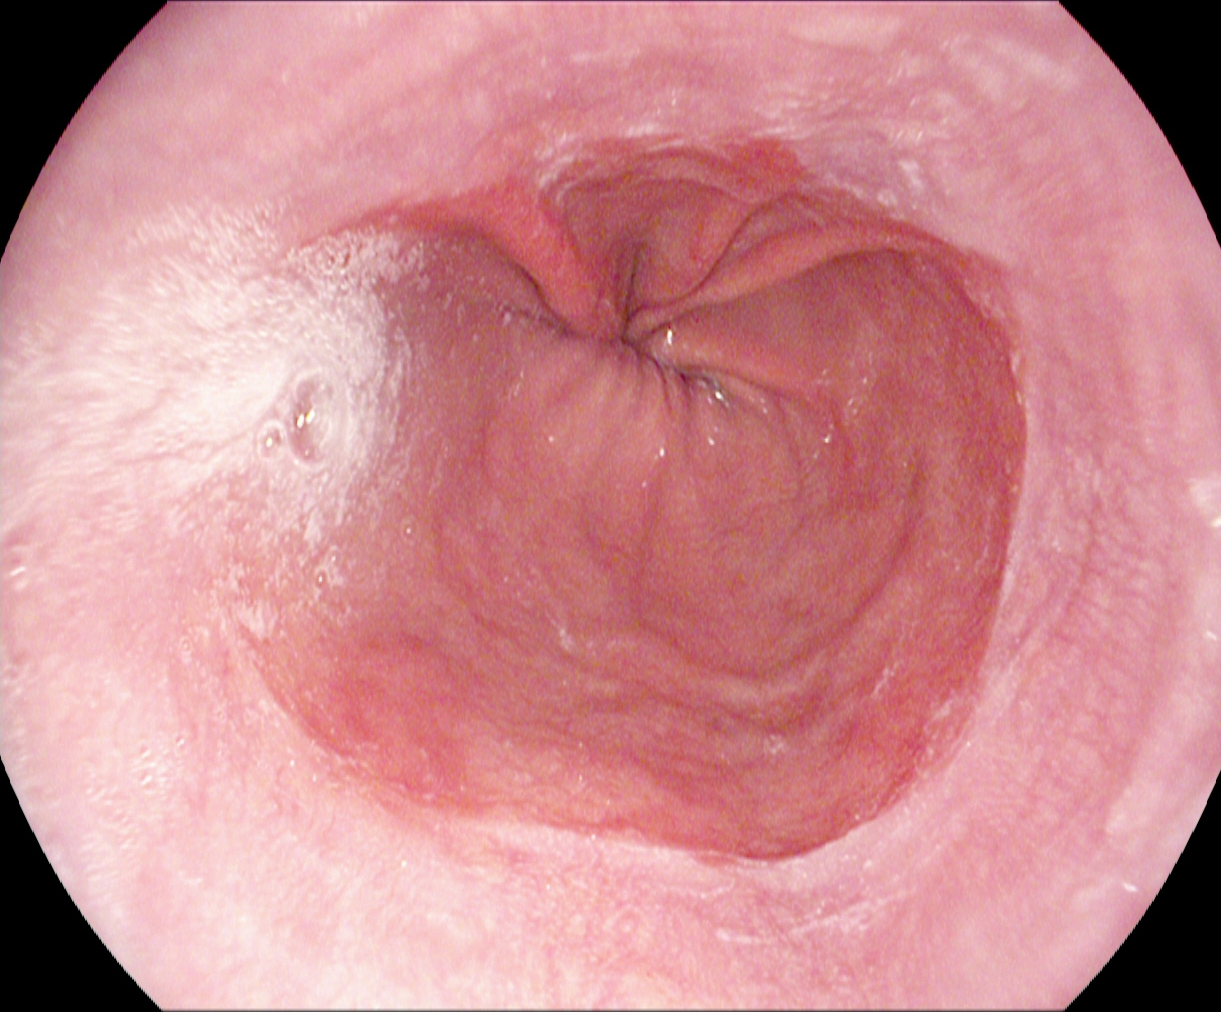PROCEDURE: EGD.
CATEGORY: Pathological finding.
FINDINGS: Reflux esophagitis, LA grade A.